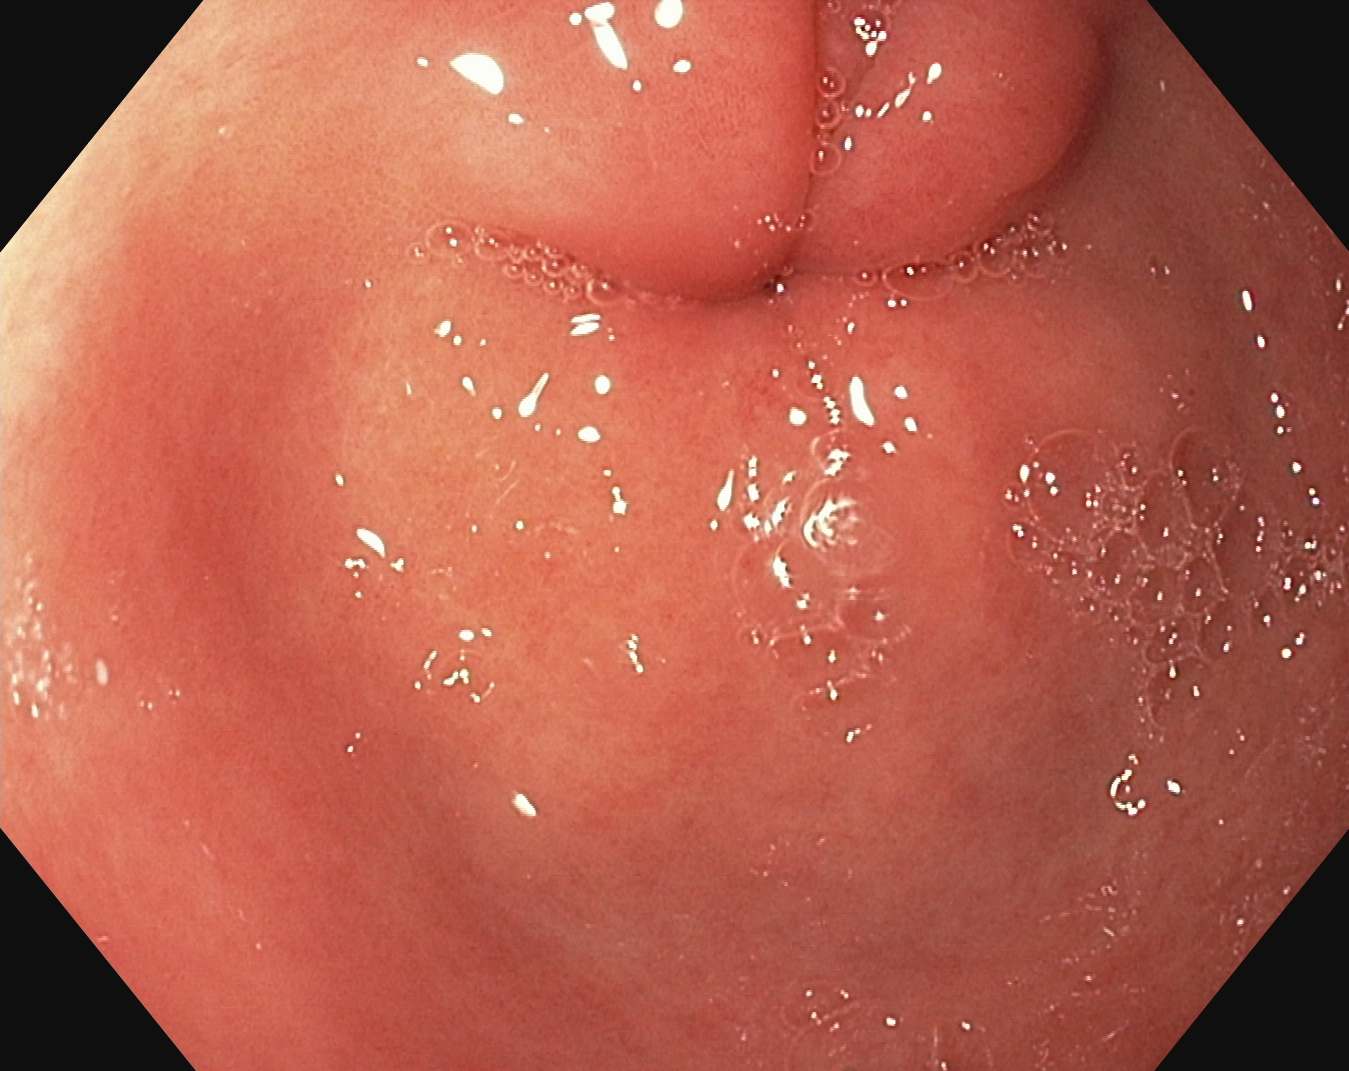{"modality": "gastroscopy", "finding": "pylorus"}